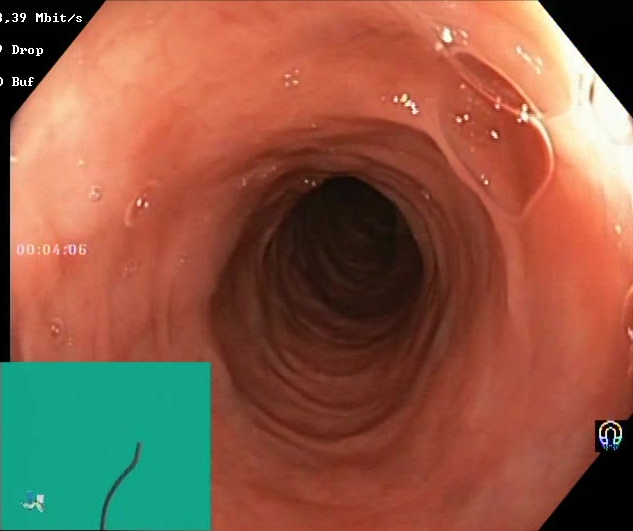PROCEDURE: Colonoscopy.
FINDINGS: Boston Bowel Preparation Scale score 2–3 (adequate preparation).